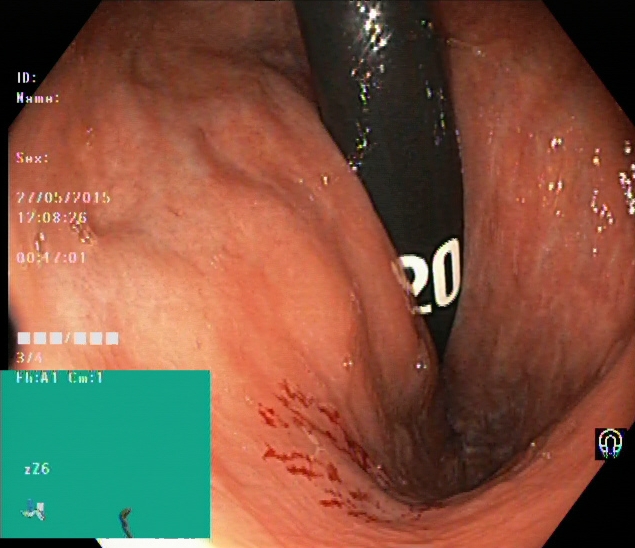{"modality": "lower-GI endoscopy", "tract": "lower GI tract", "finding": "rectum in retroflexion"}